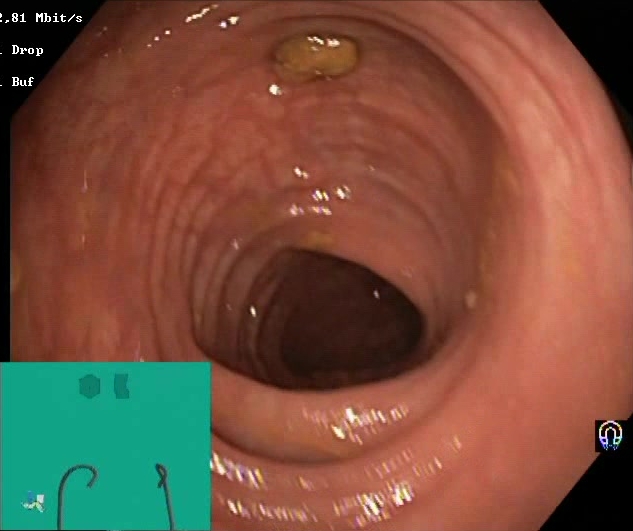This endoscopy frame of the lower GI tract shows Boston Bowel Preparation Scale score 2–3 (adequate preparation).